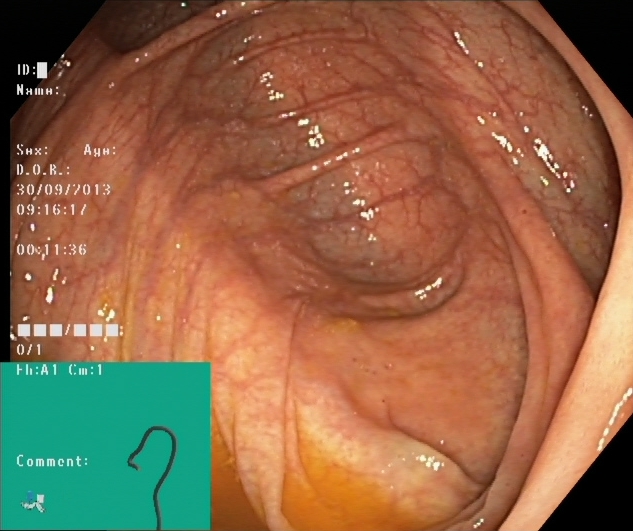{"modality": "colonoscopy", "tract": "lower GI tract", "finding": "cecum"}